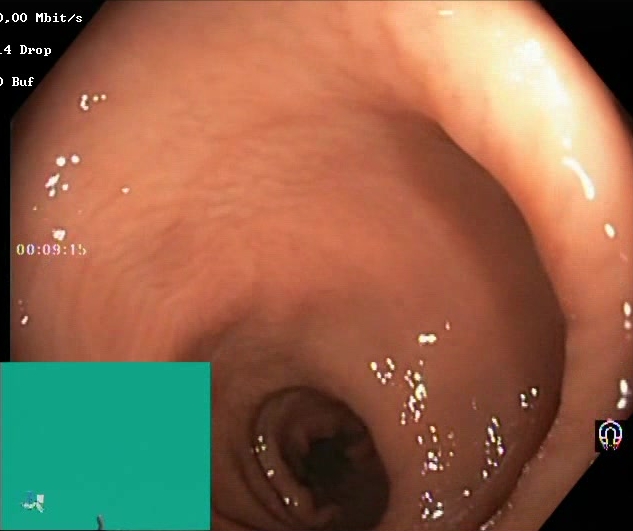Lower gastrointestinal endoscopy. Tract: lower GI tract. Mucosal-view quality. Finding: Boston Bowel Preparation Scale score 2–3 (adequate preparation).